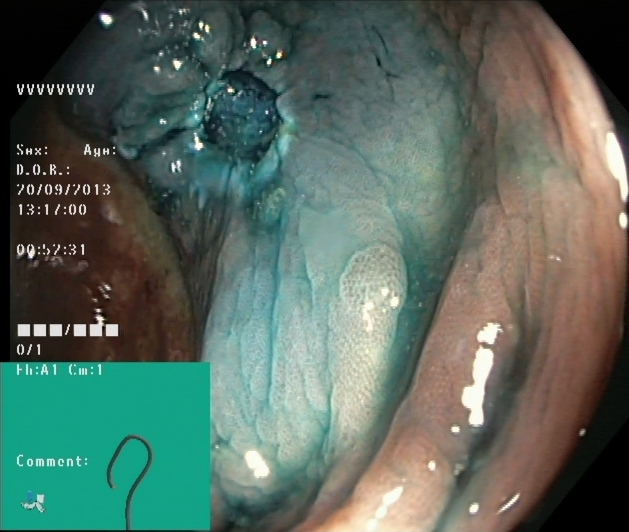modality: colonoscopy; tract: lower GI tract; finding: dyed resection margins (post-polypectomy)